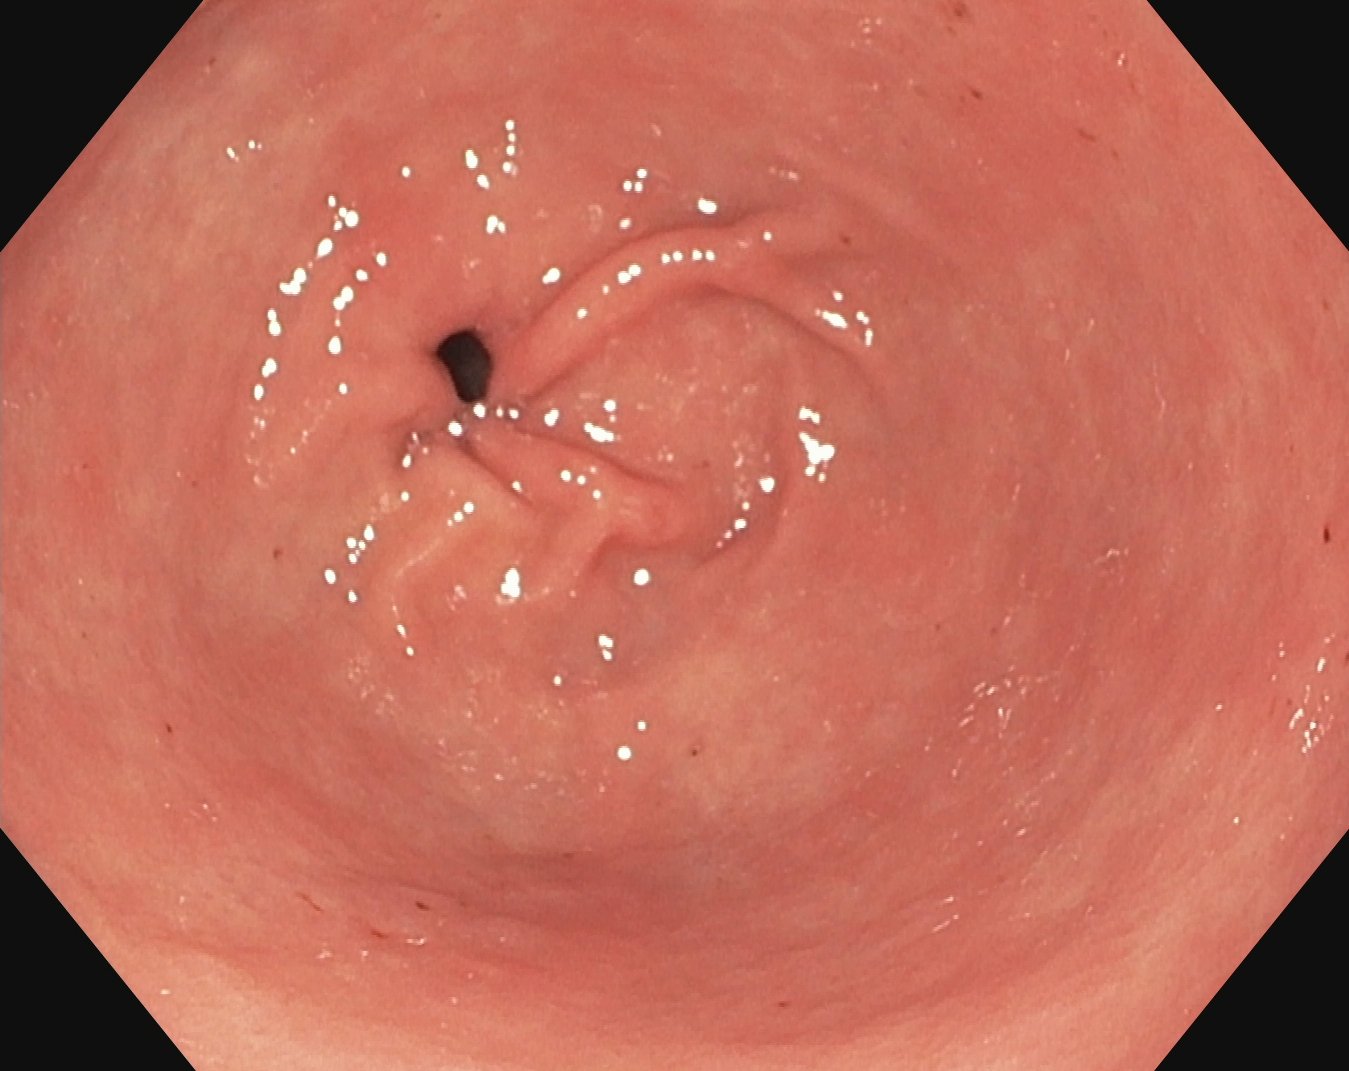Upper-GI endoscopy — pylorus.